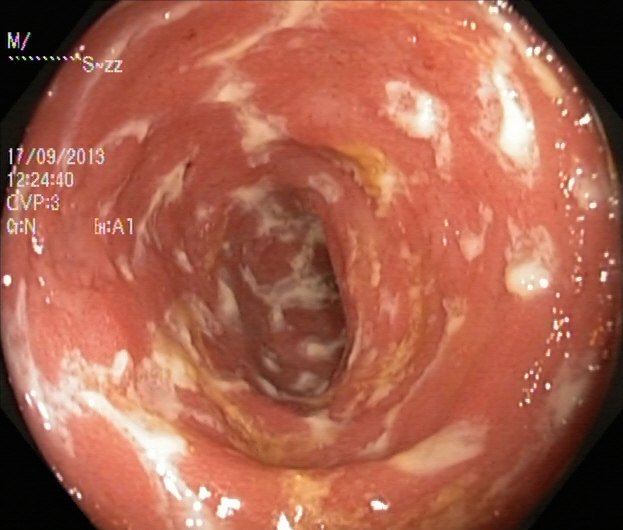PROCEDURE: Lower-GI endoscopy.
FINDINGS: Ulcerative colitis, Mayo endoscopic subscore 2.